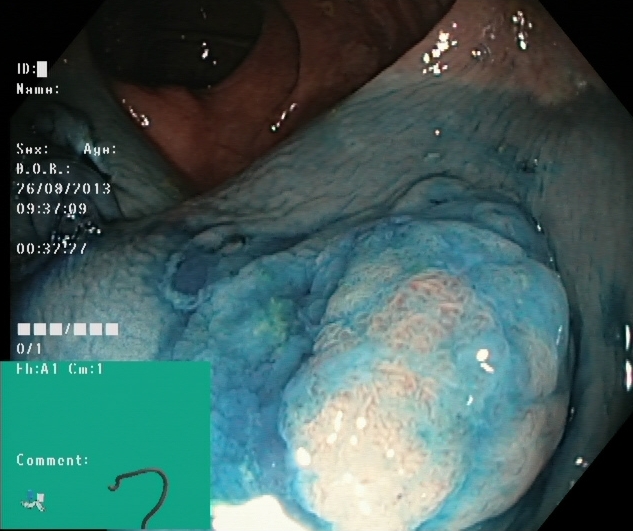PROCEDURE: Lower-GI endoscopy.
CATEGORY: Therapeutic intervention.
FINDINGS: Dyed and lifted polyp (pre-resection).